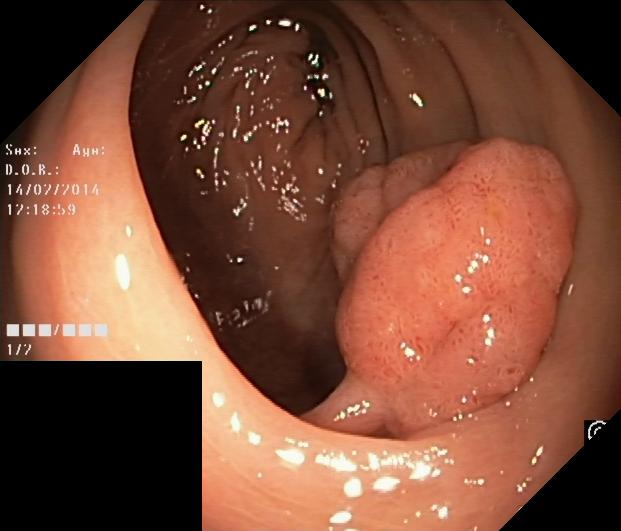This endoscopic image shows colorectal polyp(s).